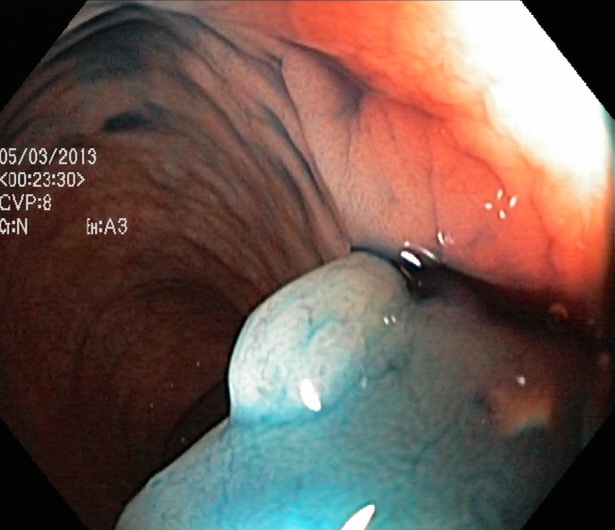Lower gastrointestinal endoscopy — dyed and lifted polyp (pre-resection).